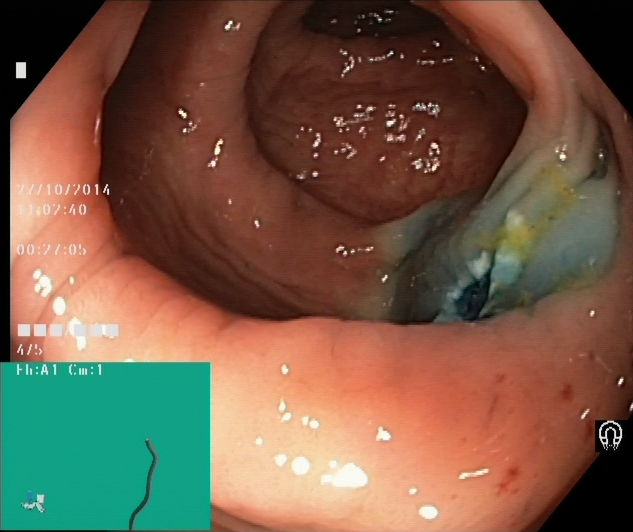modality: lower-GI endoscopy
finding: dyed resection margins (post-polypectomy)